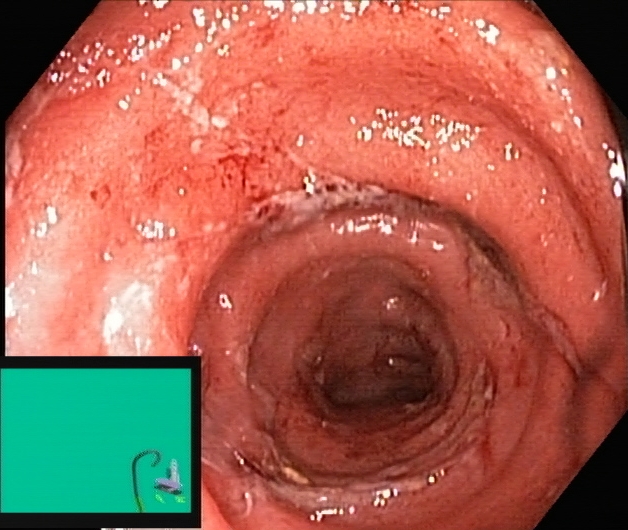This endoscopic image of the lower GI tract shows UC, Mayo endoscopic subscore 3.